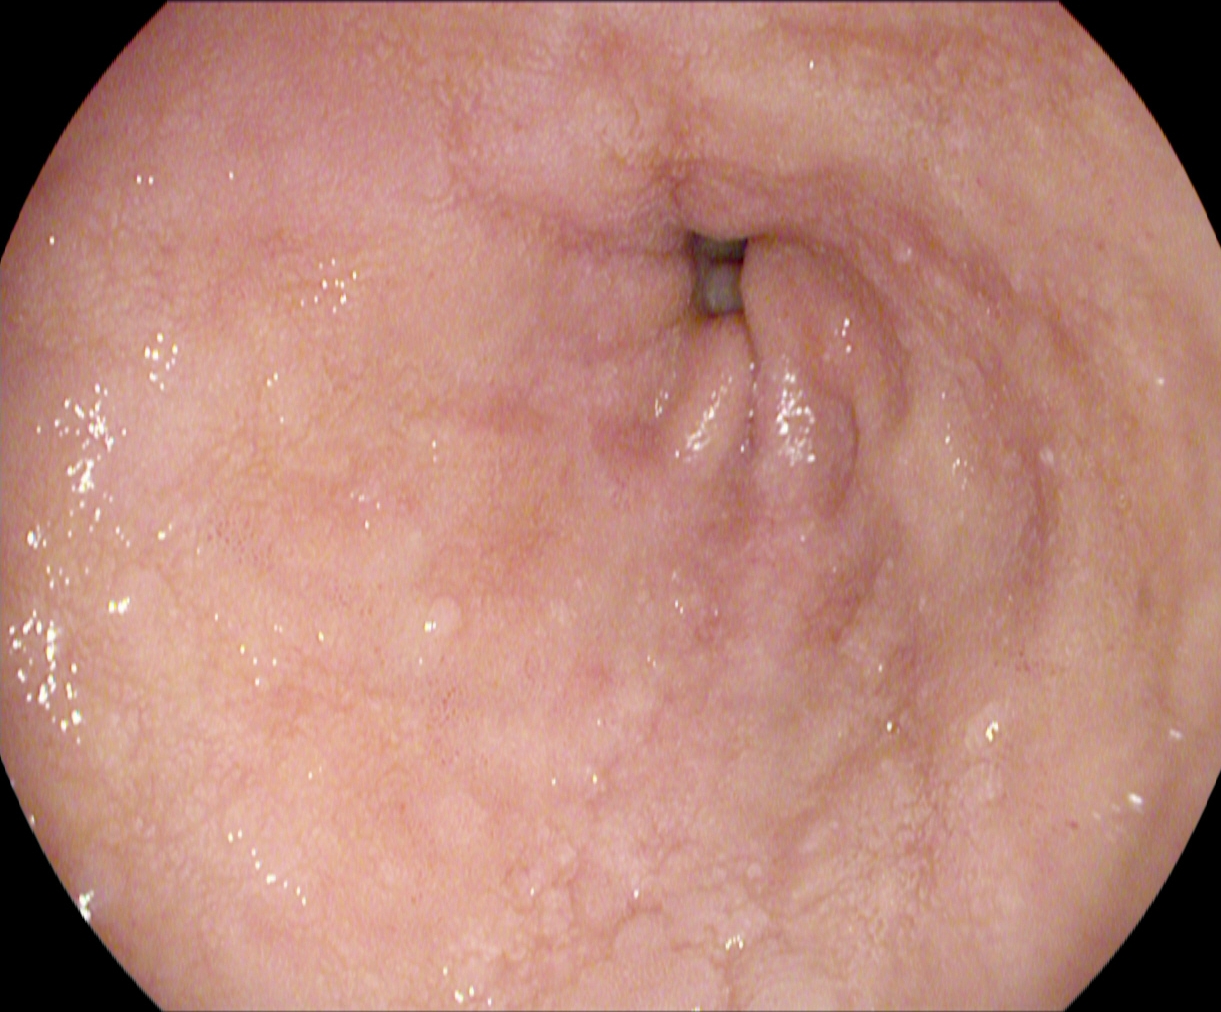PROCEDURE: Gastroscopy.
FINDINGS: Pylorus.